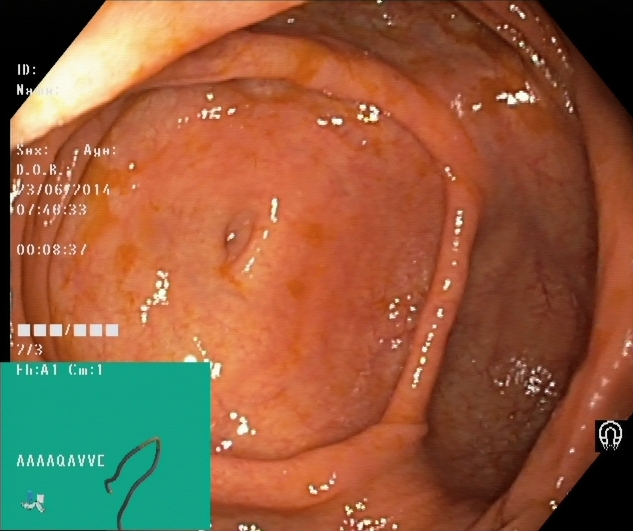Colonoscopy. Tract: lower GI tract. Anatomical landmark. Finding: cecum.